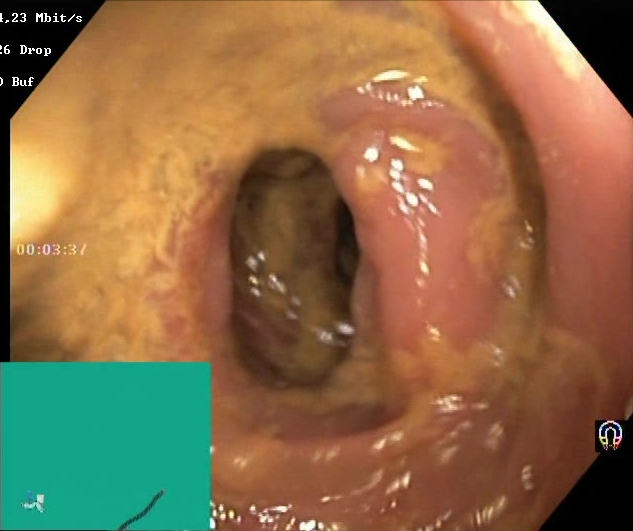This endoscopy frame of the lower GI tract shows BBPS score 0–1 (inadequate preparation).